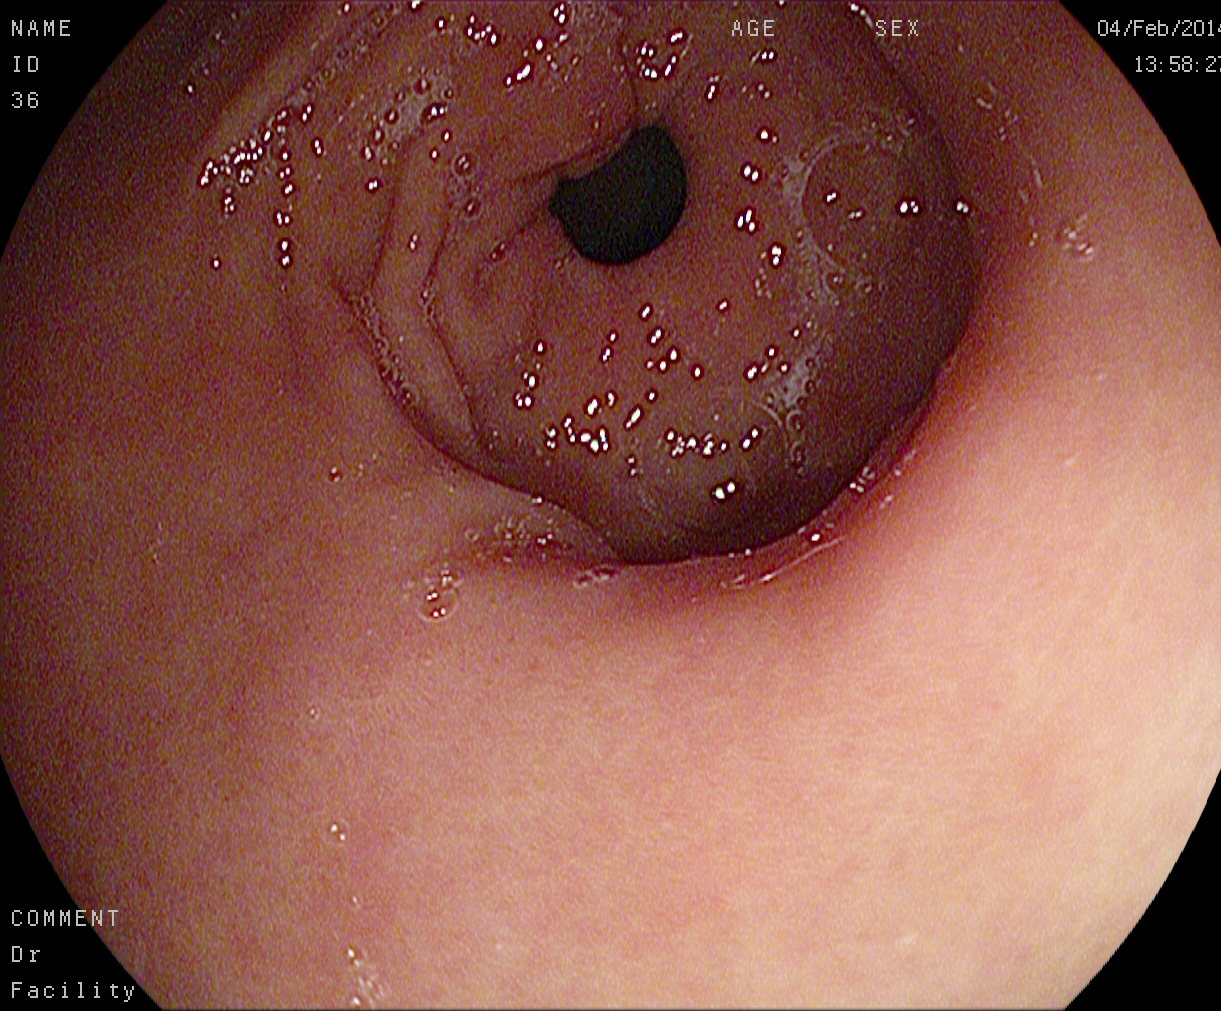Gastroscopy image showing pylorus.